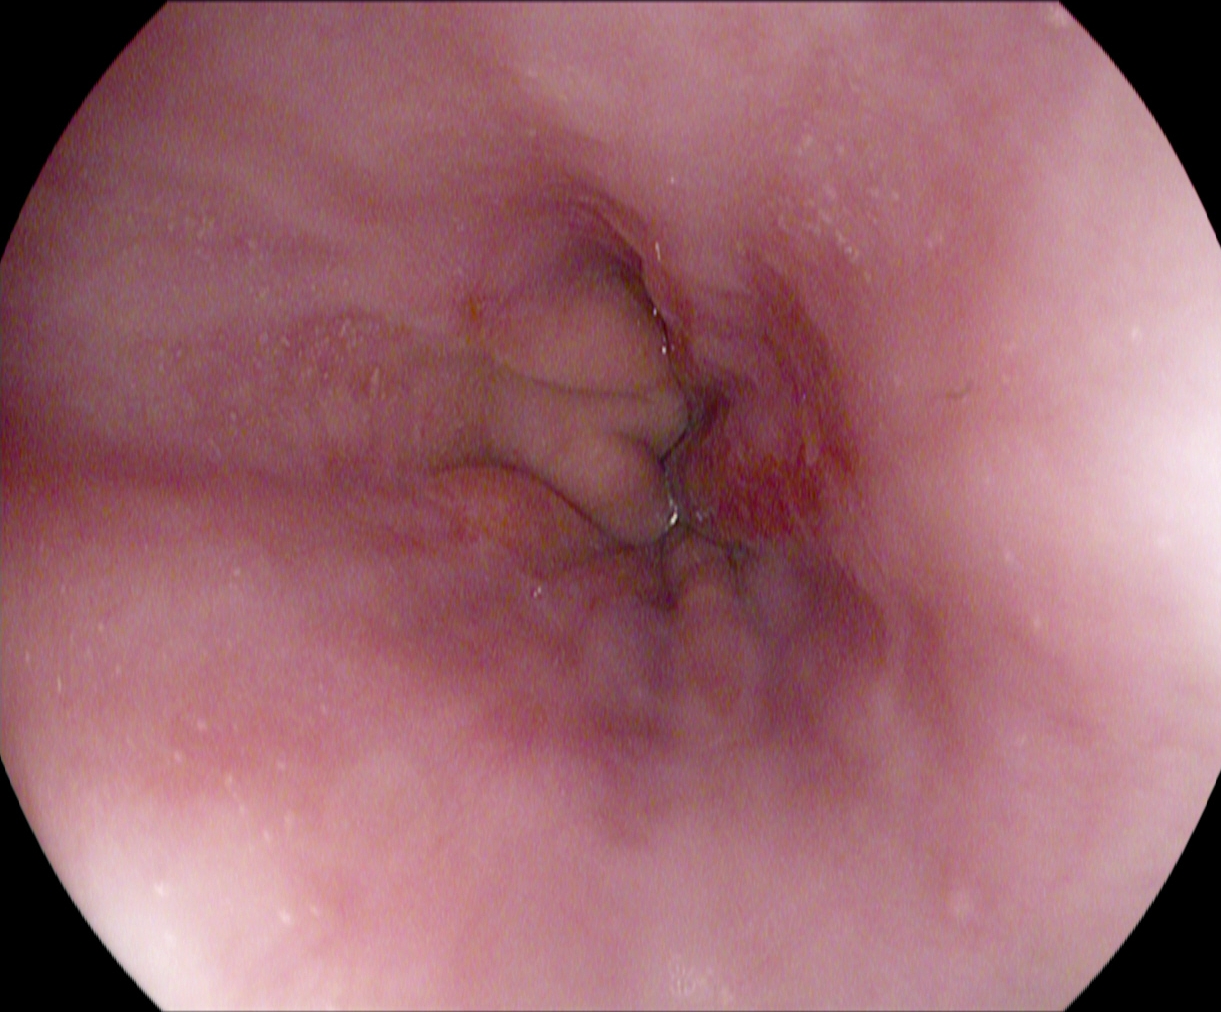{"modality": "esophagogastroduodenoscopy", "tract": "upper GI tract", "category": "pathological finding", "finding": "reflux esophagitis, LA grade A"}